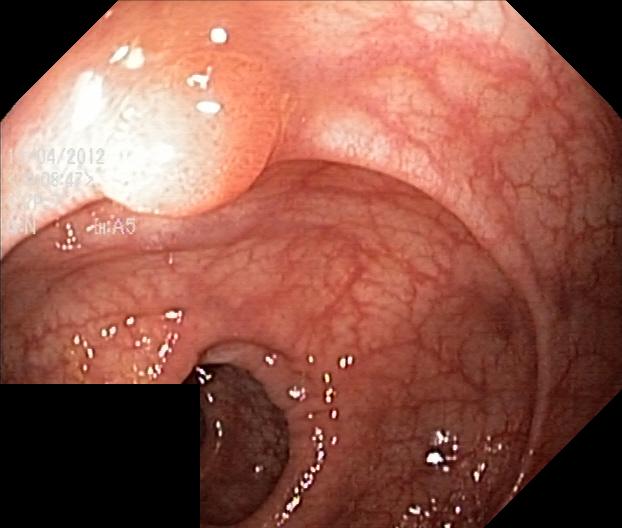modality: lower-GI endoscopy
tract: lower GI tract
category: pathological finding
finding: colorectal polyp(s)